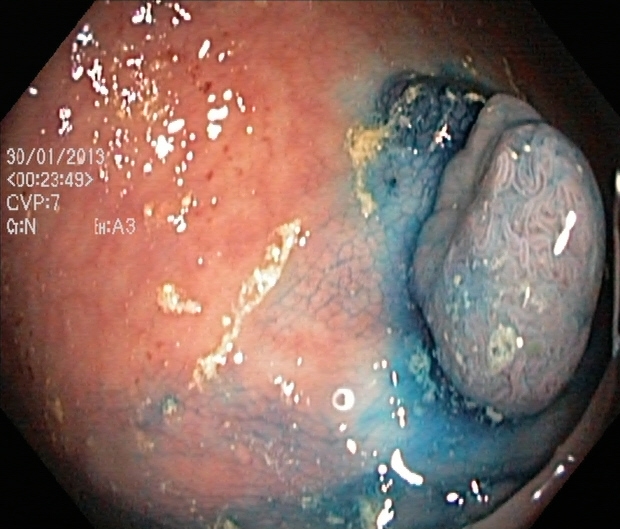{"modality": "lower gastrointestinal endoscopy", "finding": "dyed and lifted polyp (pre-resection)"}